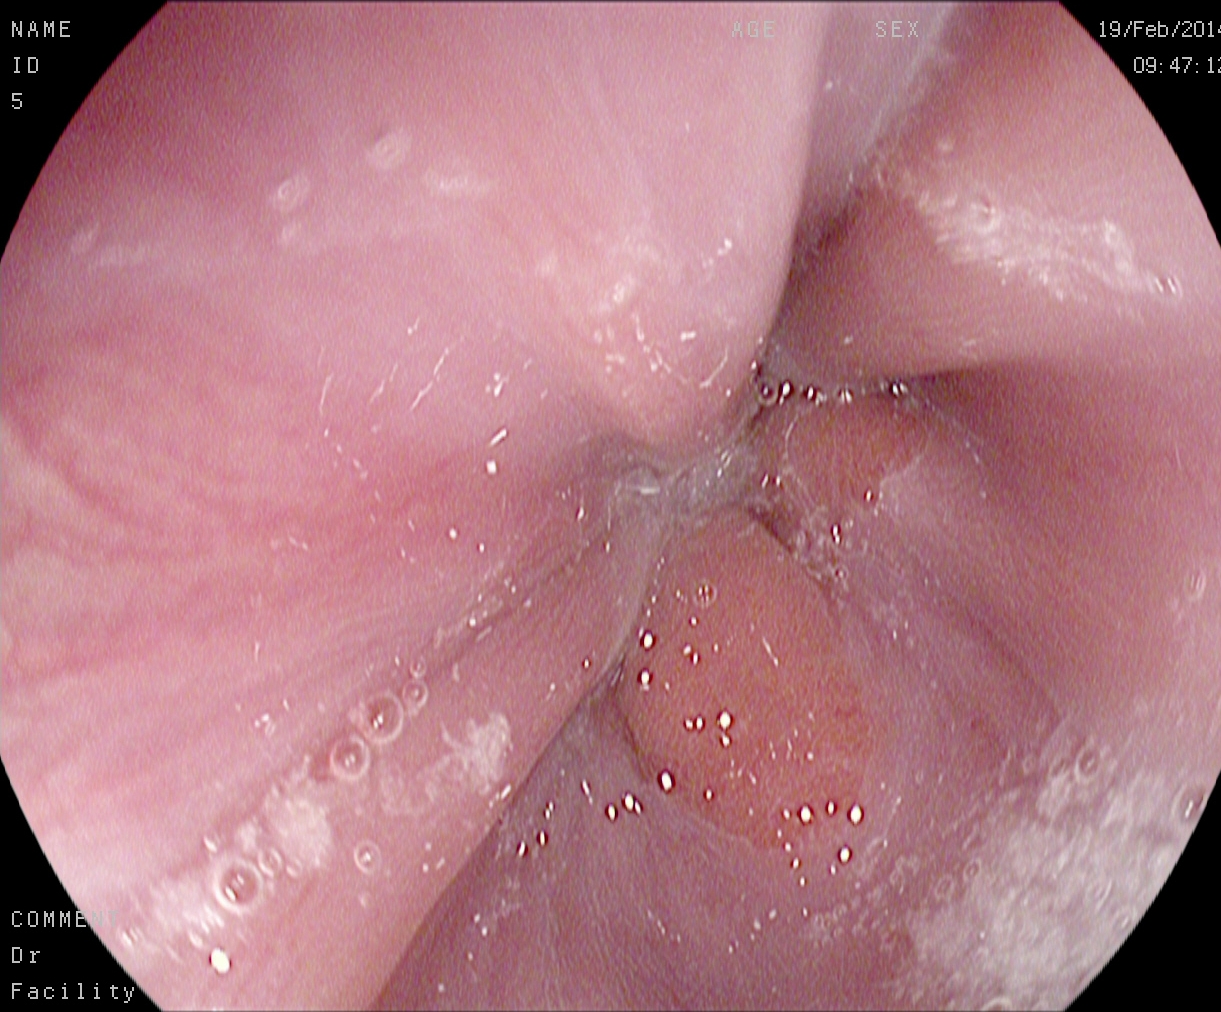This endoscopy frame of the upper GI tract shows Z-line (gastroesophageal junction).